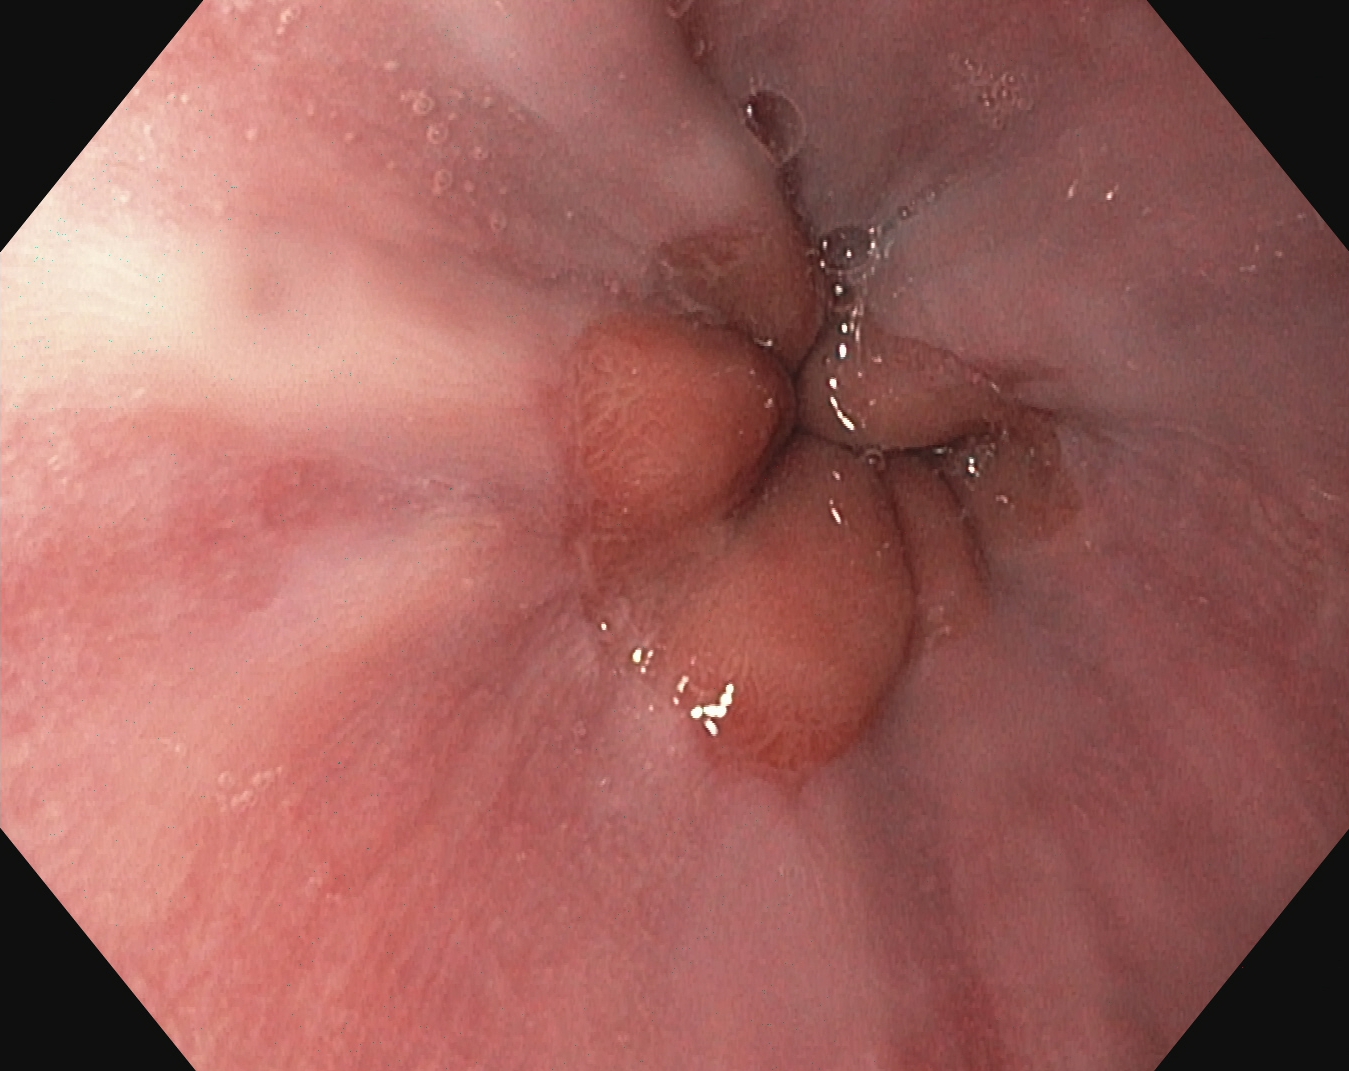{"modality": "EGD", "tract": "upper GI tract", "category": "pathological finding", "finding": "reflux esophagitis, Los Angeles grade A"}